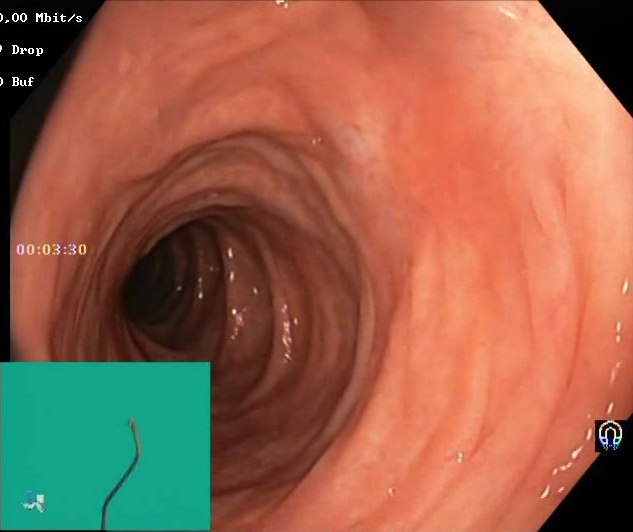PROCEDURE: Lower gastrointestinal endoscopy.
FINDINGS: BBPS score 2–3 (adequate preparation).